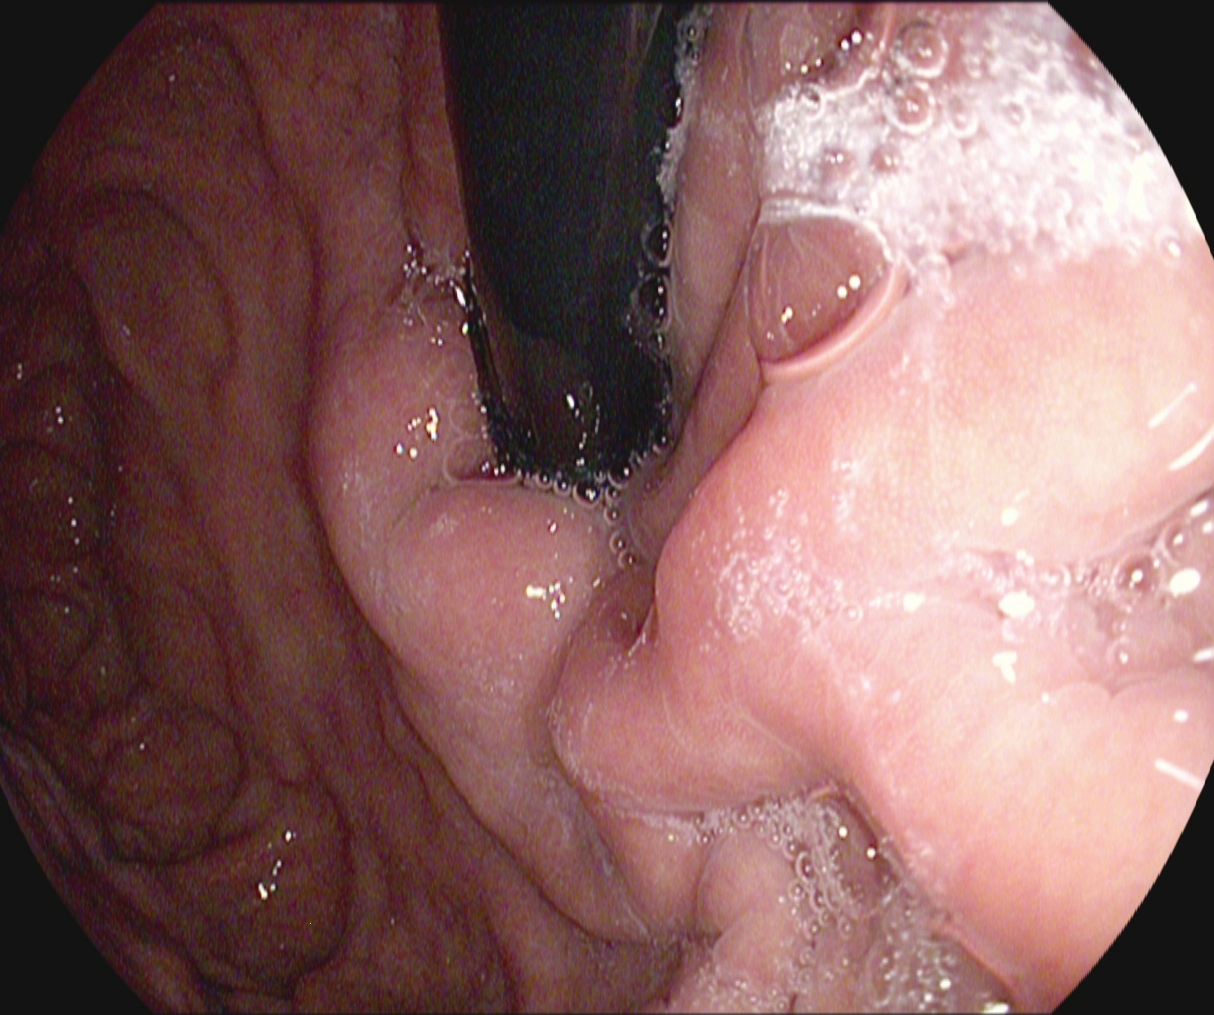PROCEDURE: Gastroscopy.
FINDINGS: Stomach in retroflexion.